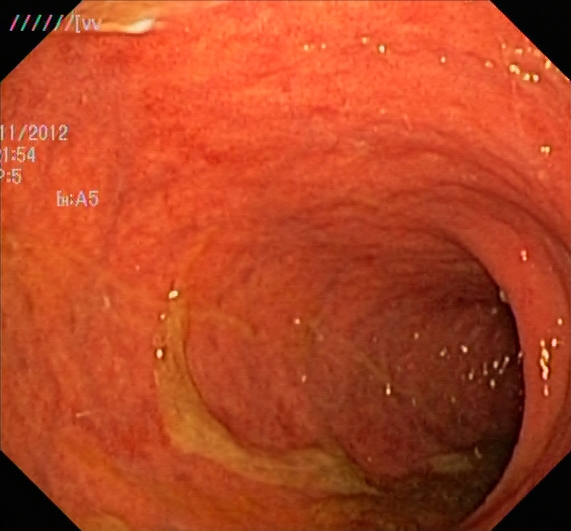modality: lower-GI endoscopy
category: pathological finding
finding: ulcerative colitis, Mayo endoscopic subscore 1